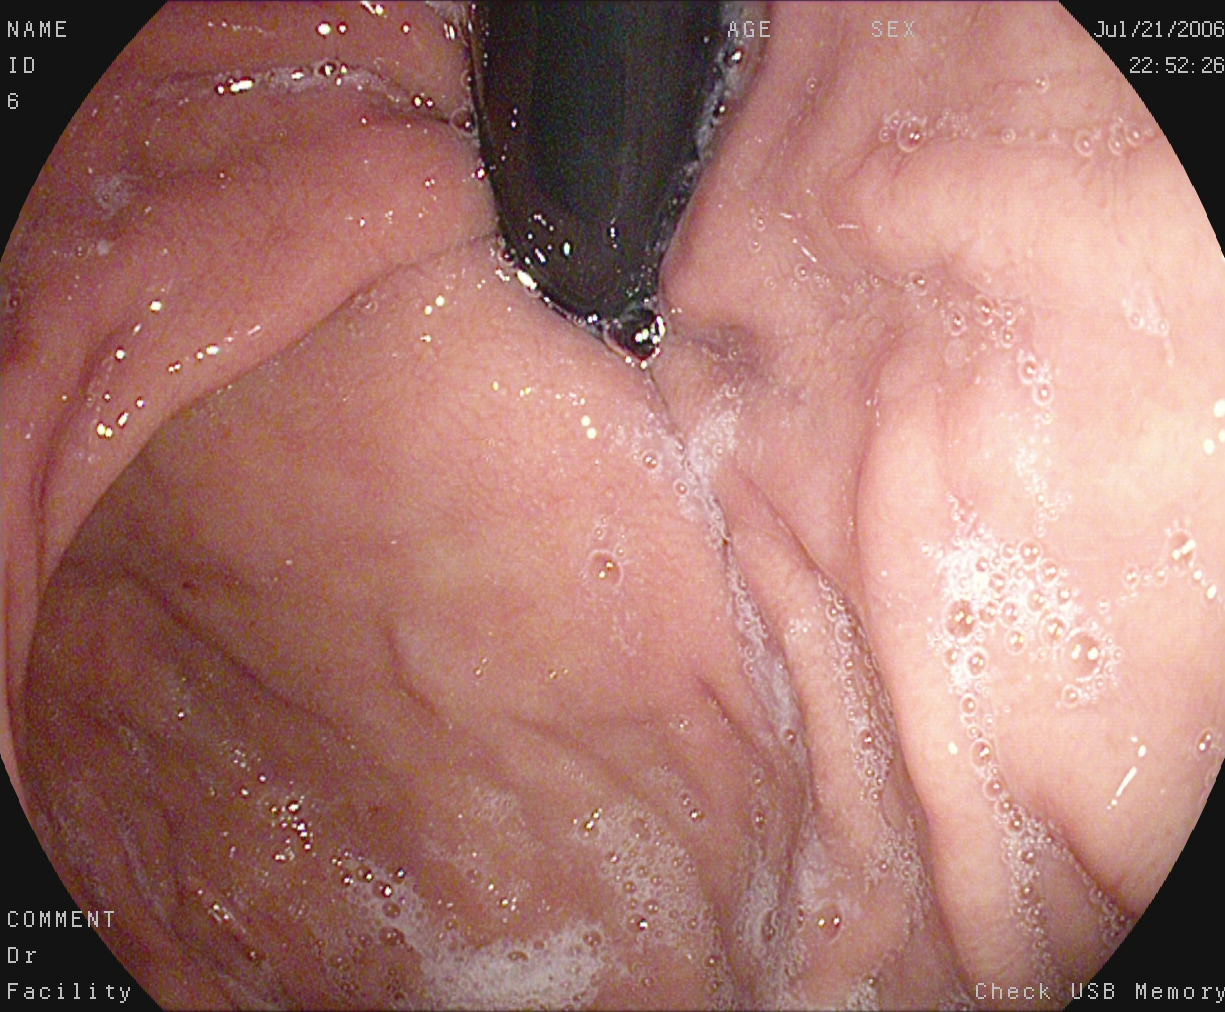modality: esophagogastroduodenoscopy | tract: upper GI tract | finding: stomach in retroflexion